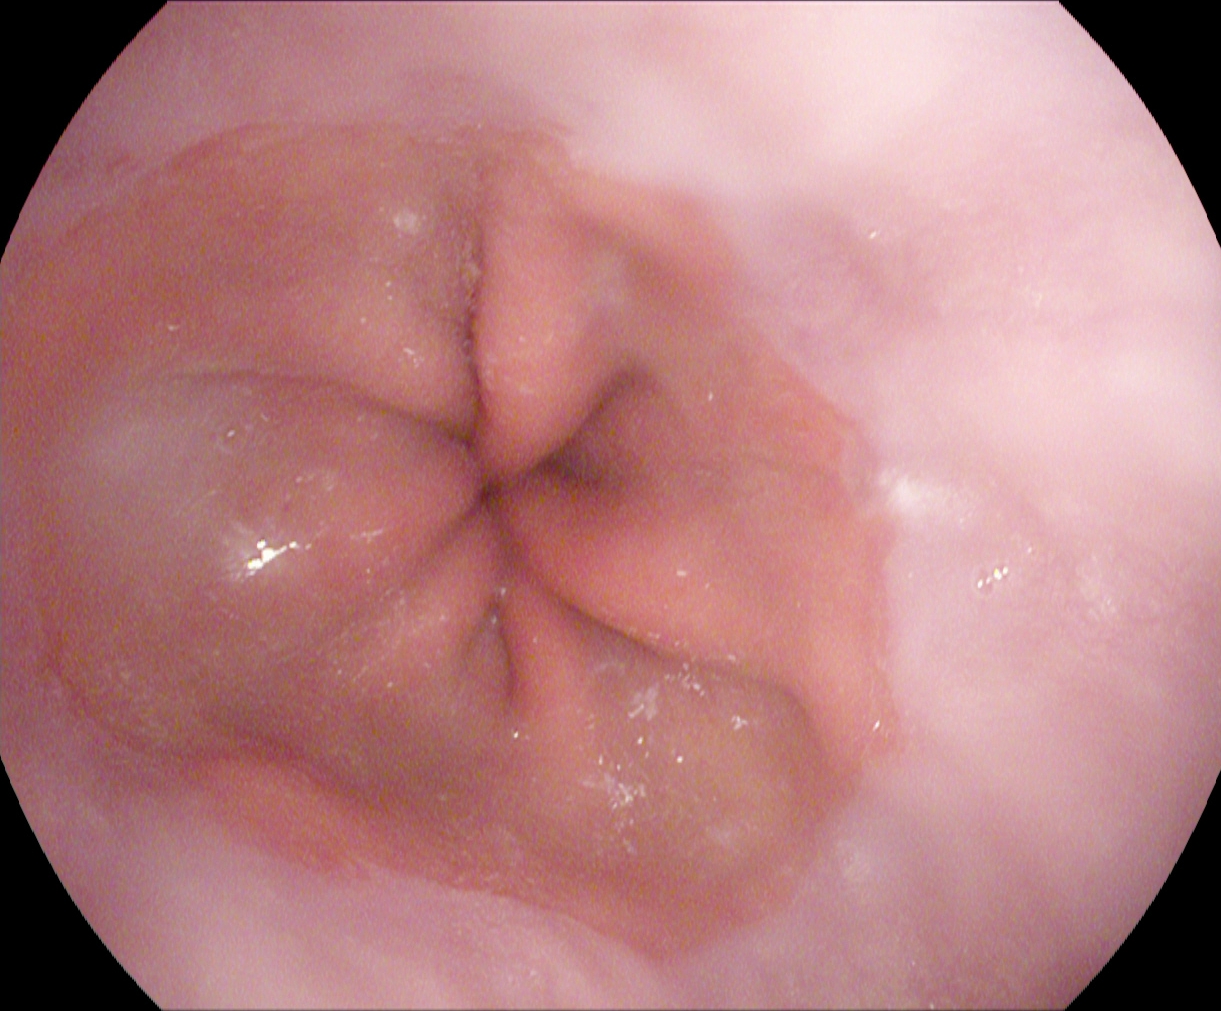PROCEDURE: EGD.
CATEGORY: Anatomical landmark.
FINDINGS: Z-line (gastroesophageal junction).